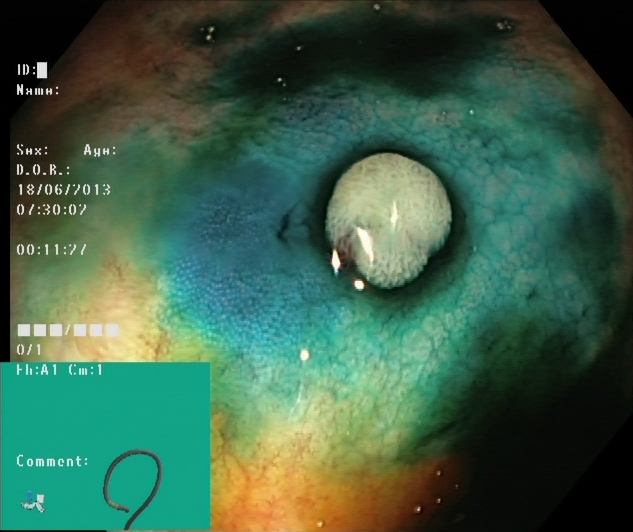This endoscopic image of the lower GI tract shows dyed and lifted polyp (pre-resection).